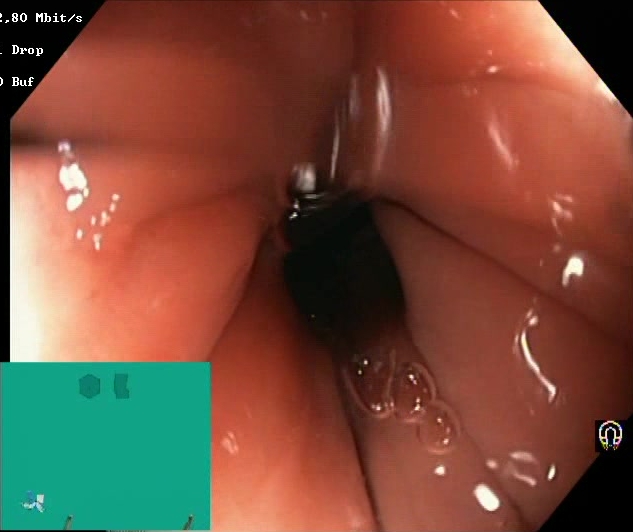Lower-GI endoscopy. Mucosal-view quality. Finding: Boston Bowel Preparation Scale score 2–3 (adequate preparation).